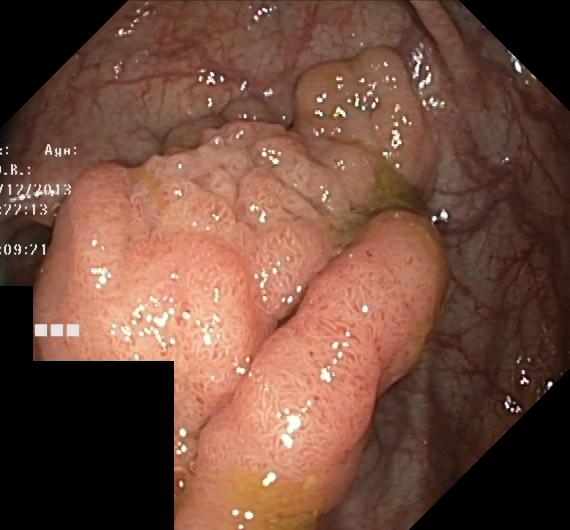{"modality": "lower gastrointestinal endoscopy", "category": "pathological finding", "finding": "colorectal polyp(s)"}